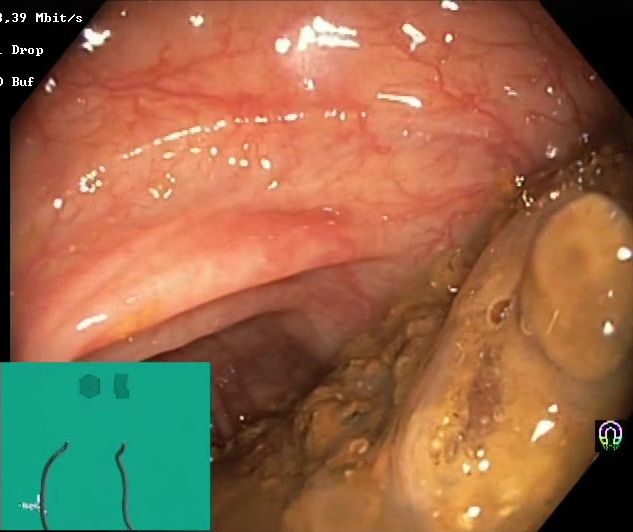Endoscopy image of the lower GI tract showing Boston Bowel Preparation Scale score 0–1 (inadequate preparation).